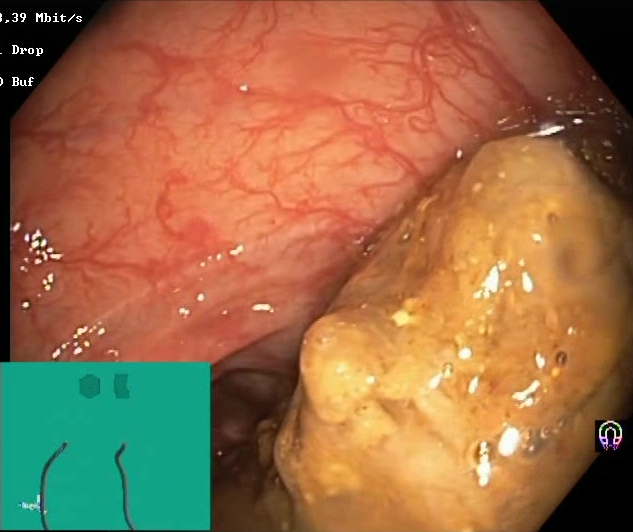{"modality": "lower-GI endoscopy", "category": "mucosal-view quality", "finding": "BBPS score 0\u20131 (inadequate preparation)"}